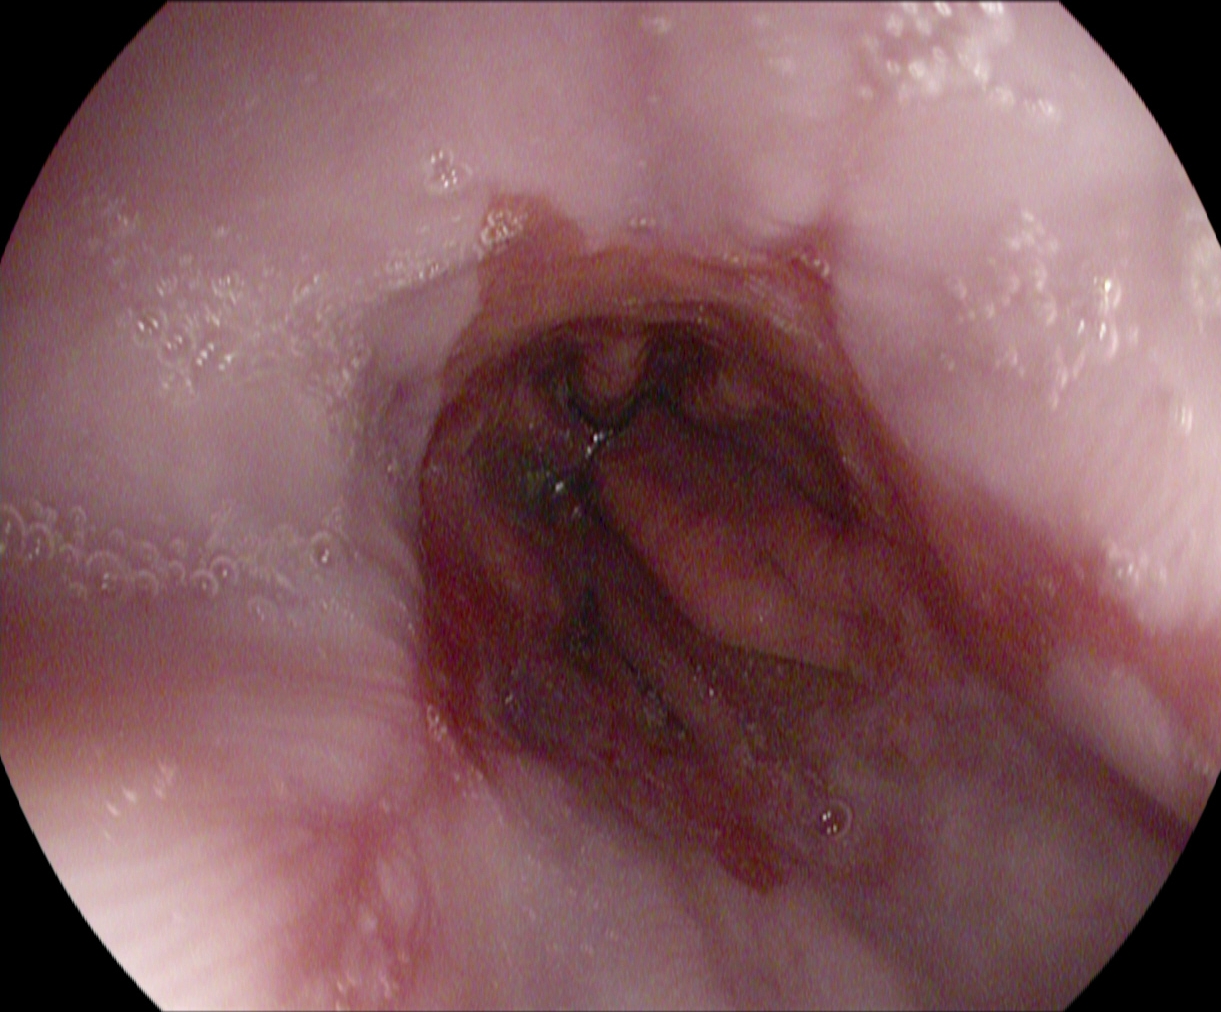reflux esophagitis, Los Angeles grade B–D.